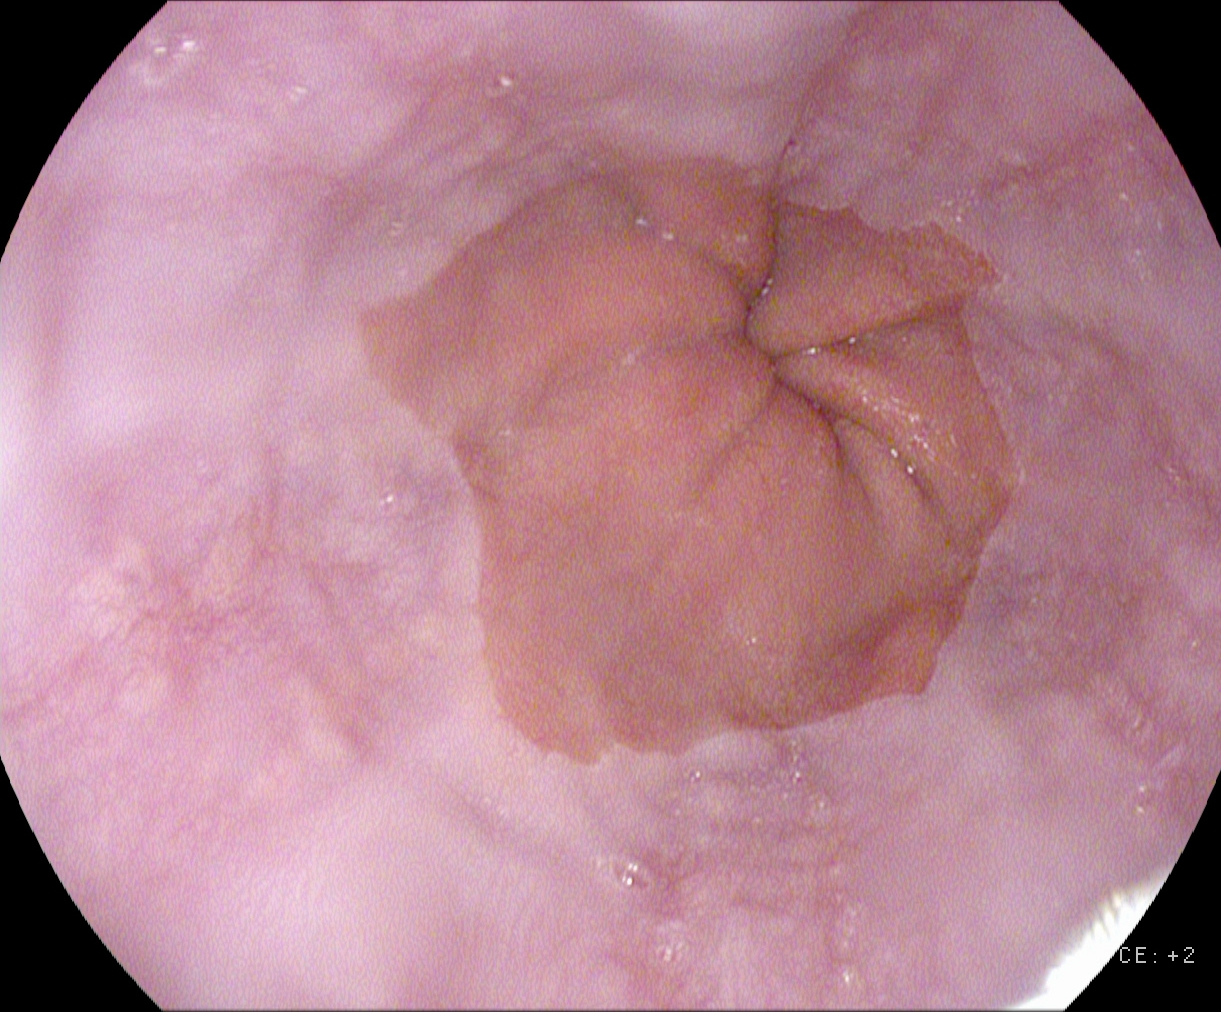PROCEDURE: Esophagogastroduodenoscopy.
CATEGORY: Anatomical landmark.
FINDINGS: Z-line (gastroesophageal junction).